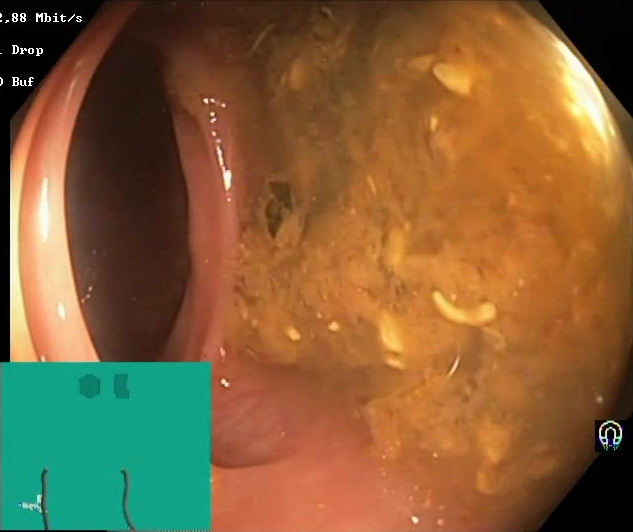This endoscopy frame shows BBPS score 0–1 (inadequate preparation).